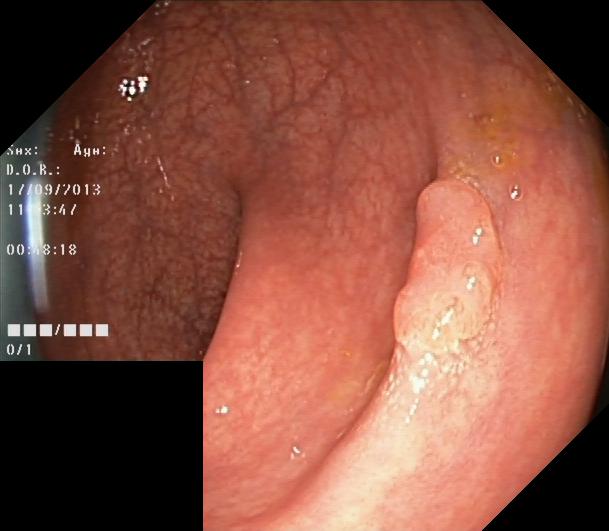{"modality": "lower gastrointestinal endoscopy", "finding": "colorectal polyp(s)"}